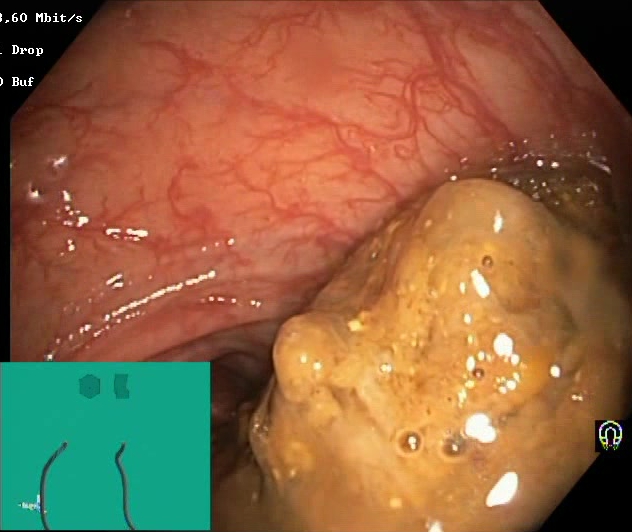PROCEDURE: Lower gastrointestinal endoscopy.
FINDINGS: Boston Bowel Preparation Scale score 0–1 (inadequate preparation).